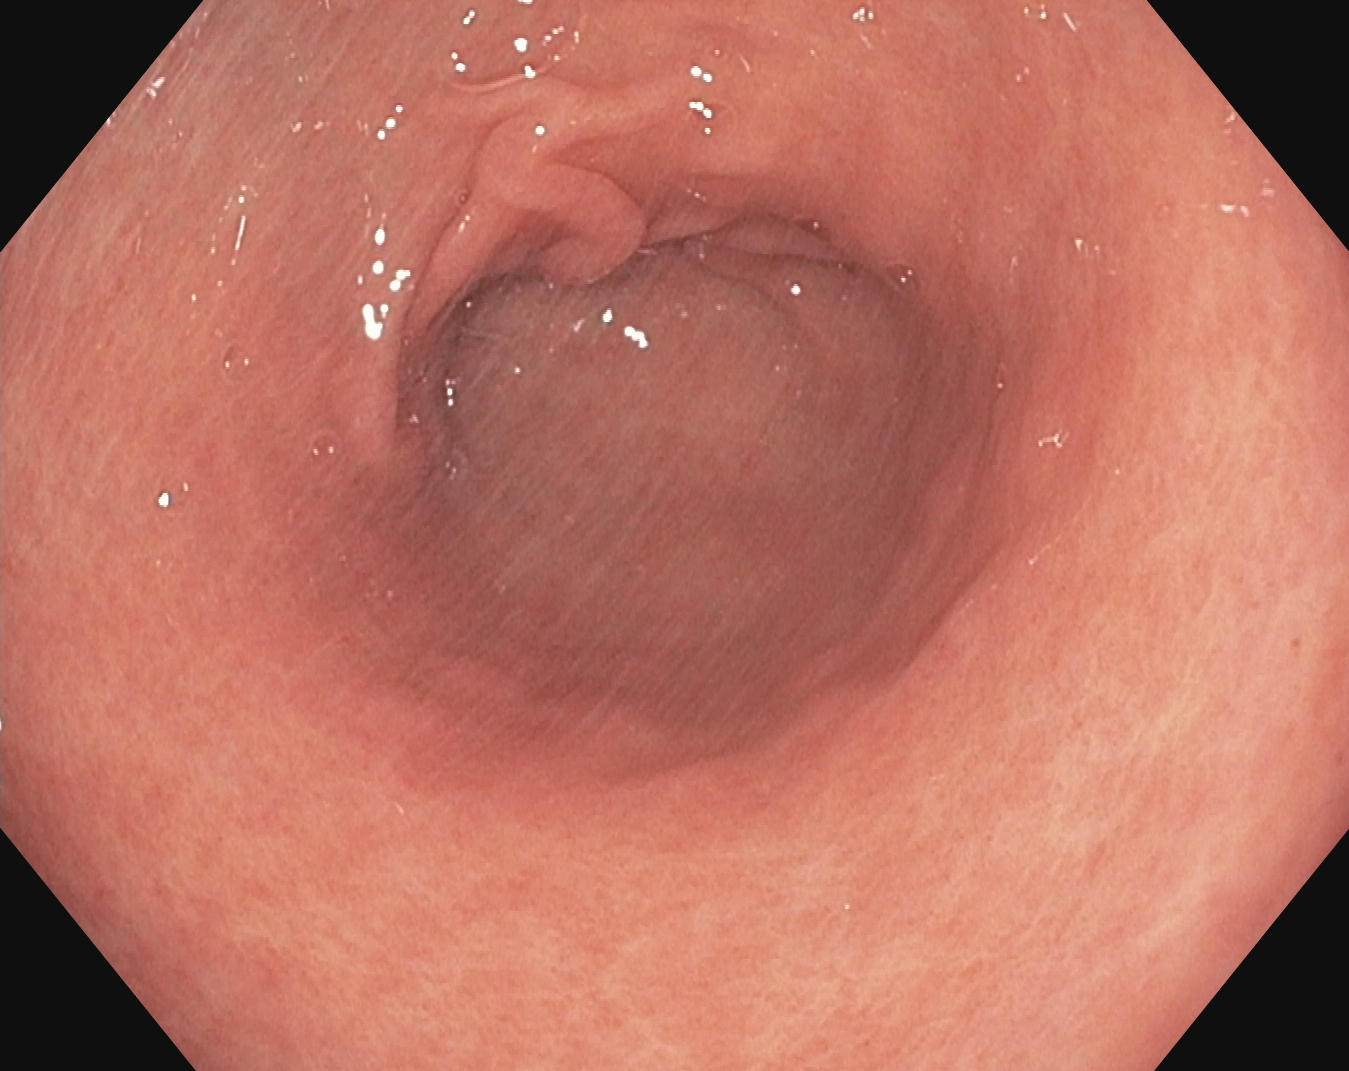Gastrointestinal endoscopy image showing pylorus.